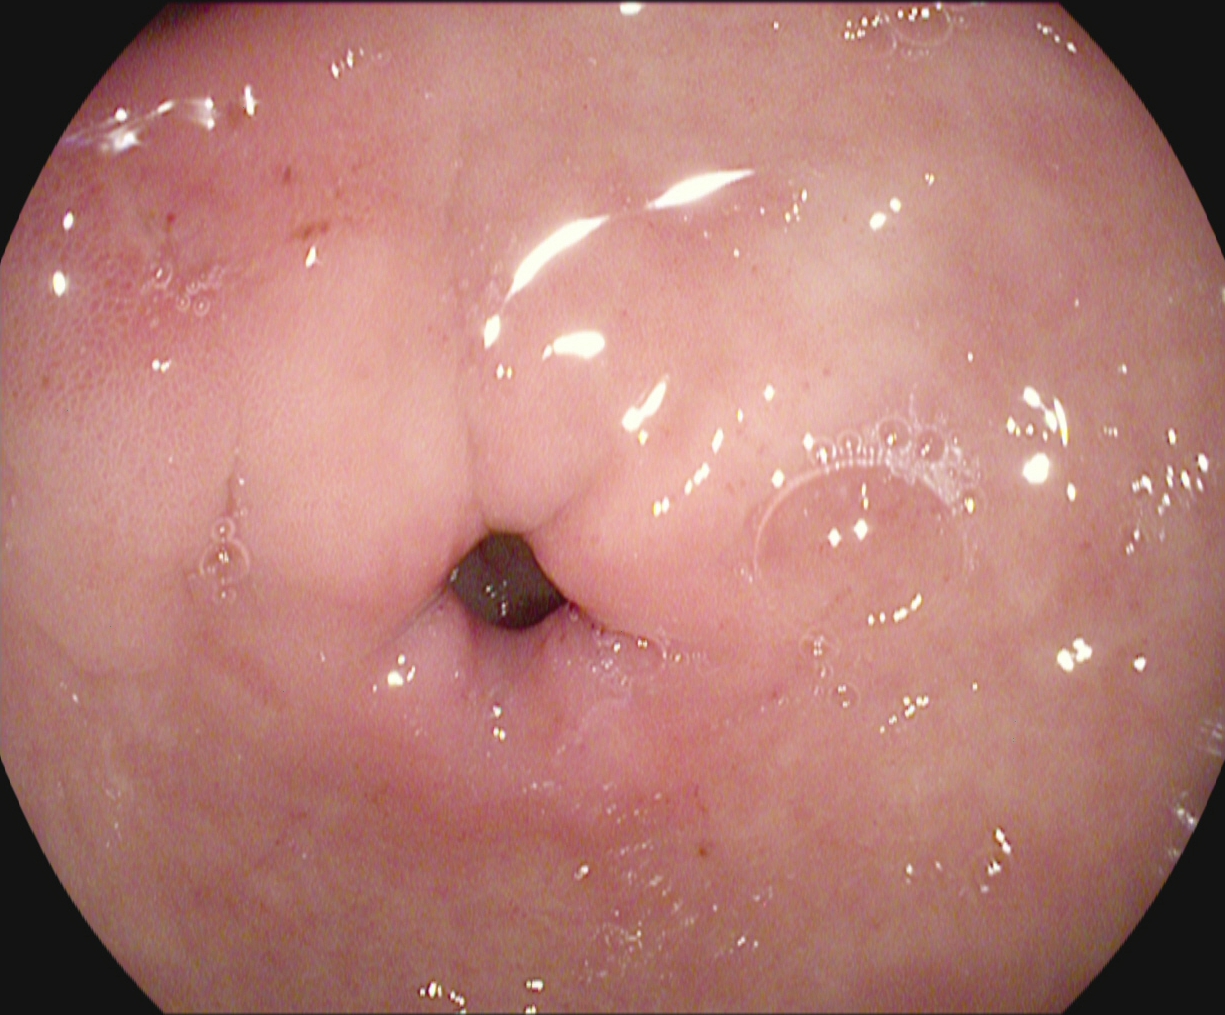Gastroscopy image of the upper GI tract showing pylorus.